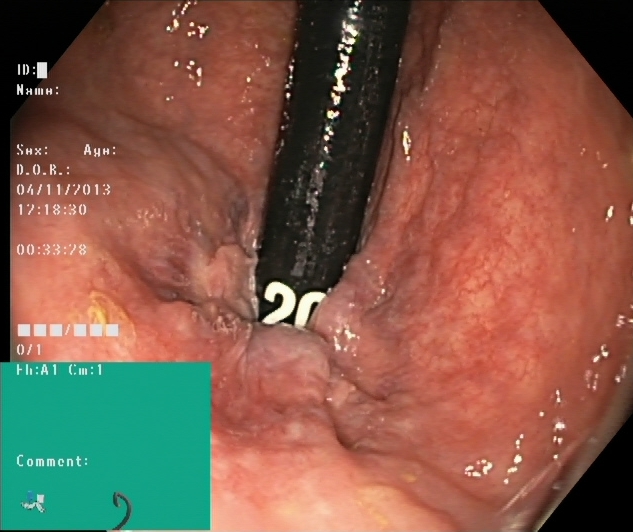modality: colonoscopy | category: anatomical landmark | finding: rectum in retroflexion